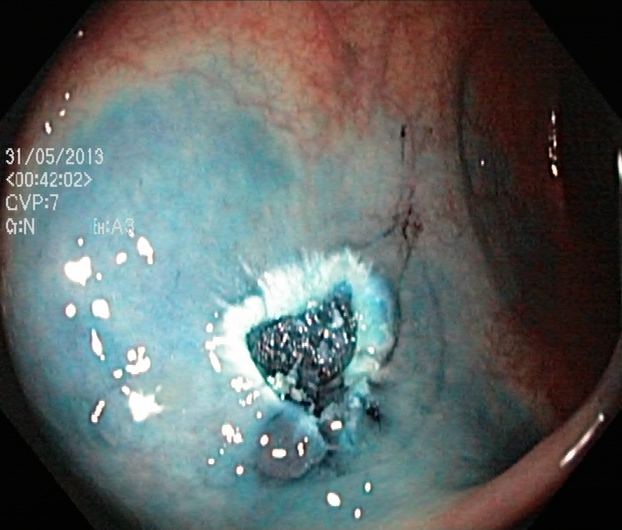Dyed resection margins (post-polypectomy).